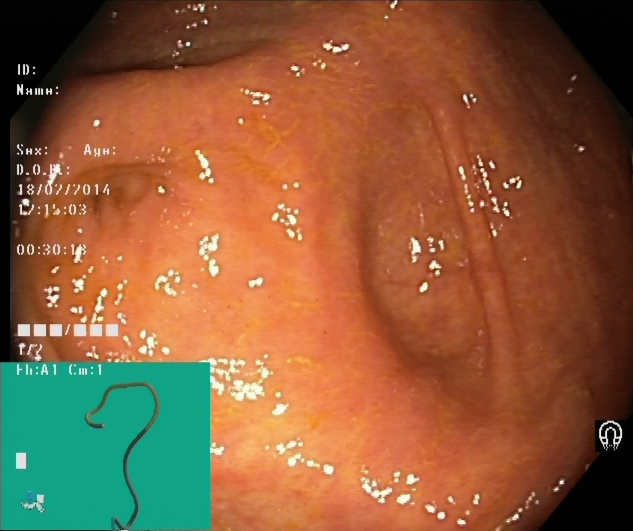cecum.